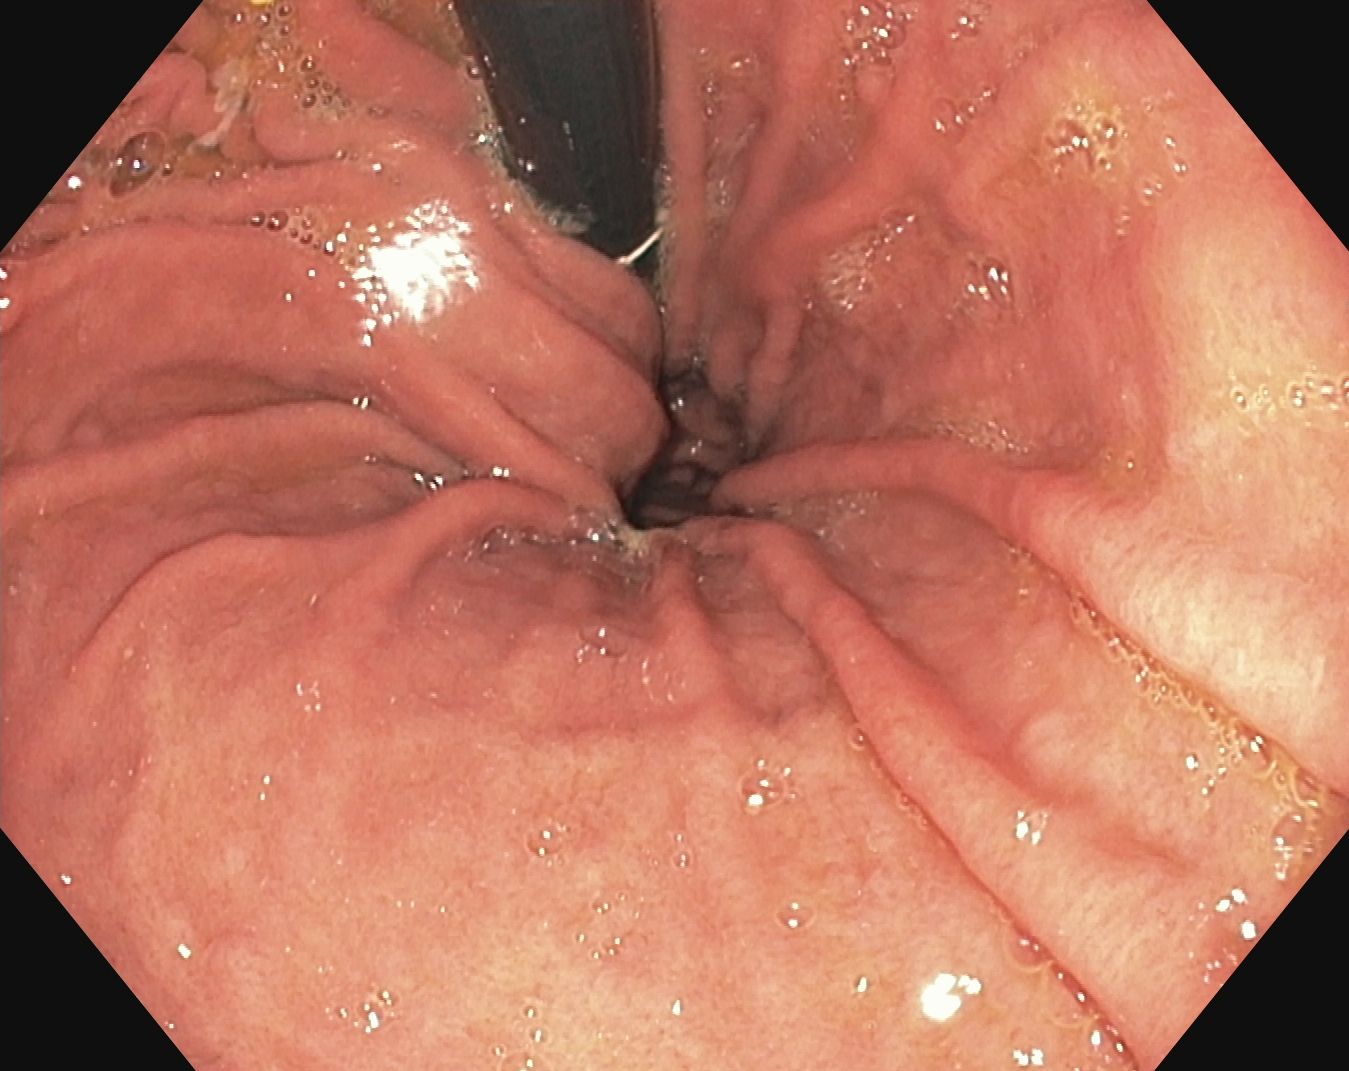PROCEDURE: EGD.
CATEGORY: Anatomical landmark.
FINDINGS: Stomach in retroflexion.